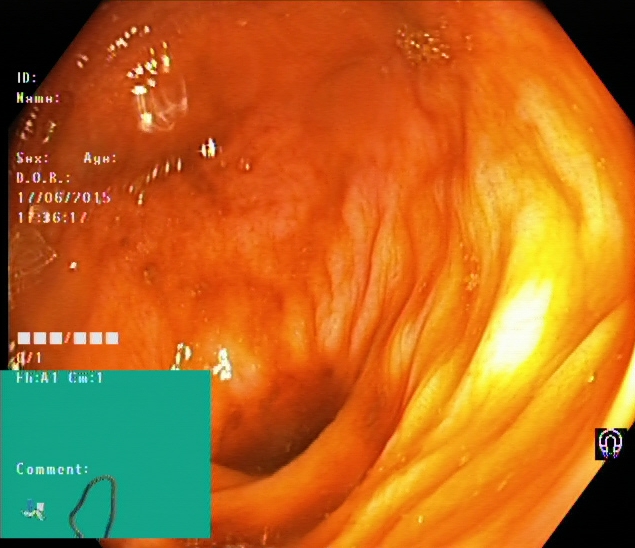Lower gastrointestinal endoscopy — cecum.